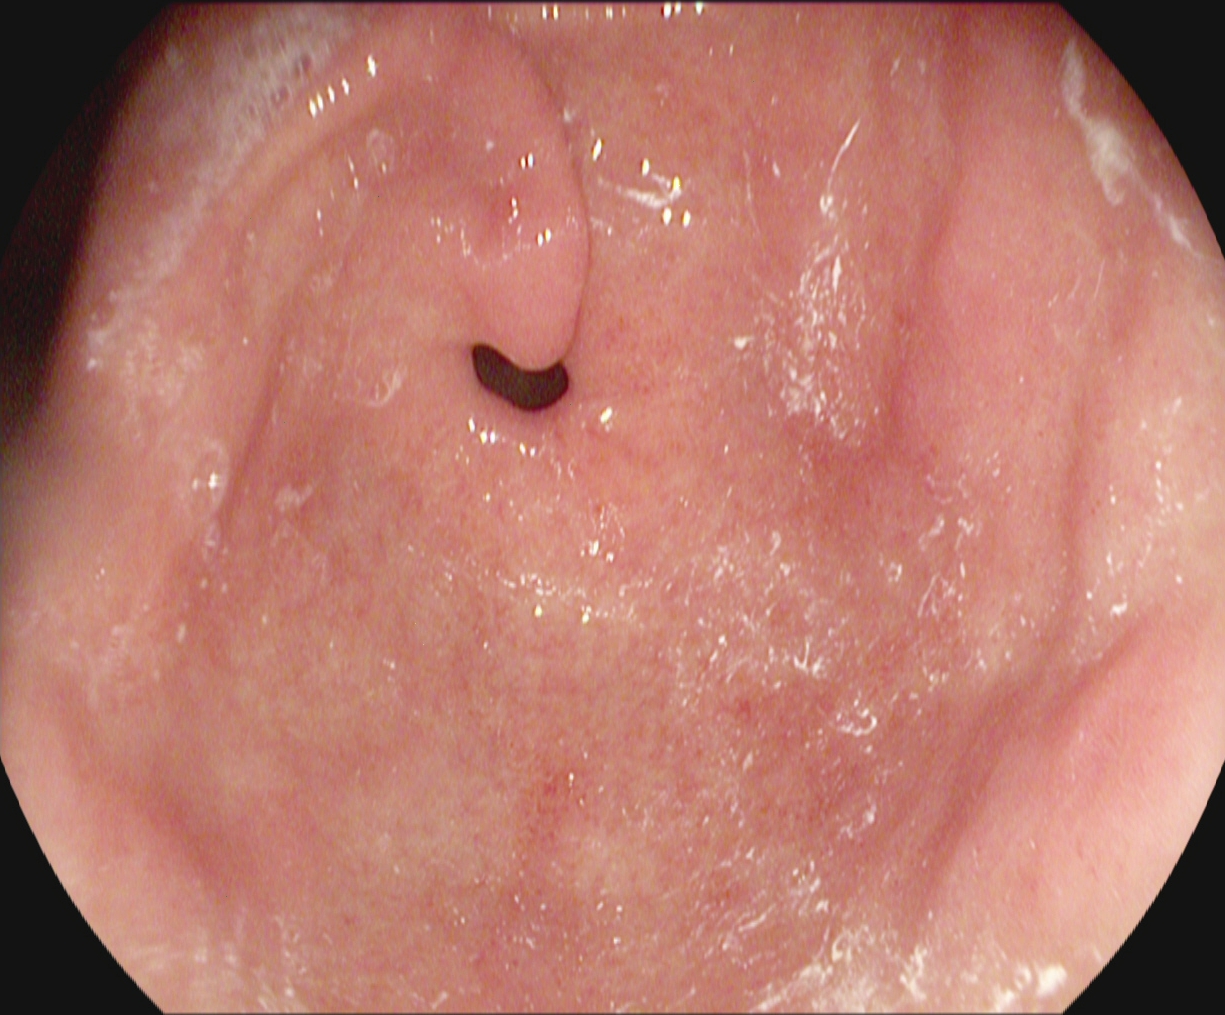Upper-GI endoscopy. Tract: upper GI tract. Anatomical landmark. Finding: pylorus.